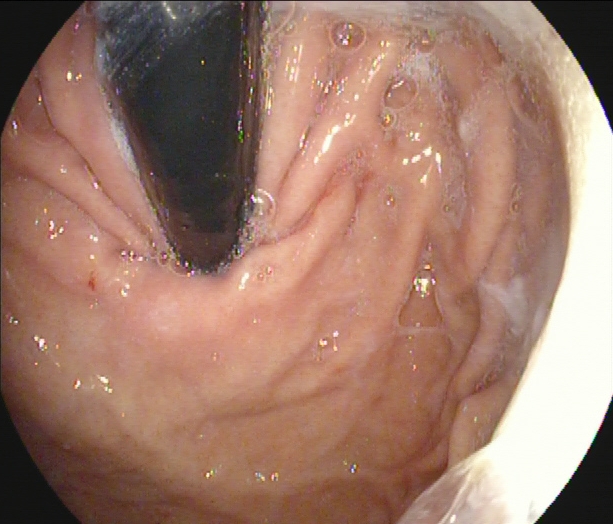This endoscopic image of the upper GI tract shows stomach in retroflexion.